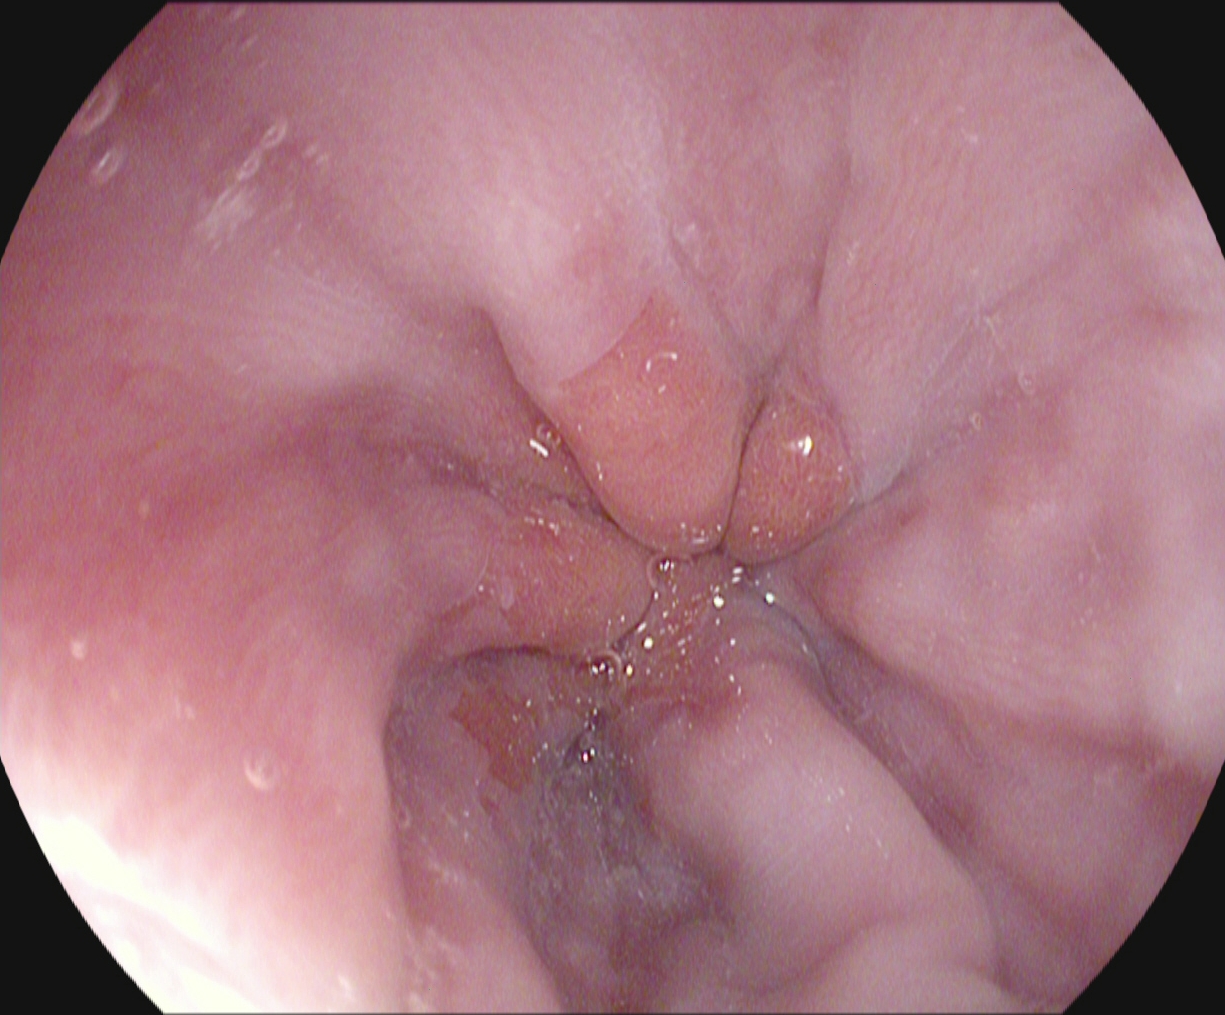Gastroscopy. Finding: Z-line (gastroesophageal junction).